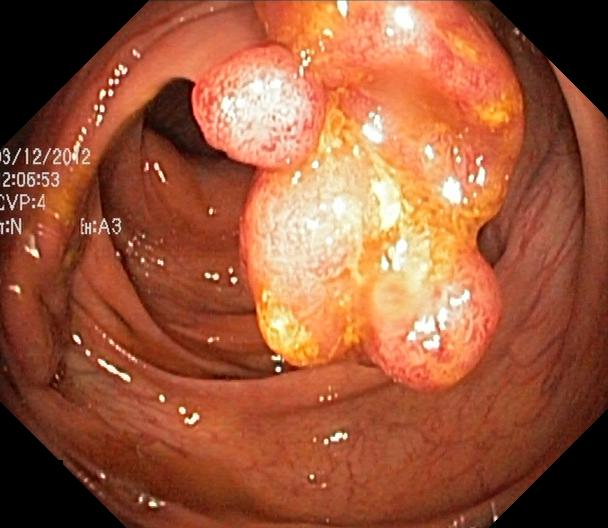GI endoscopy image showing colorectal polyp(s).